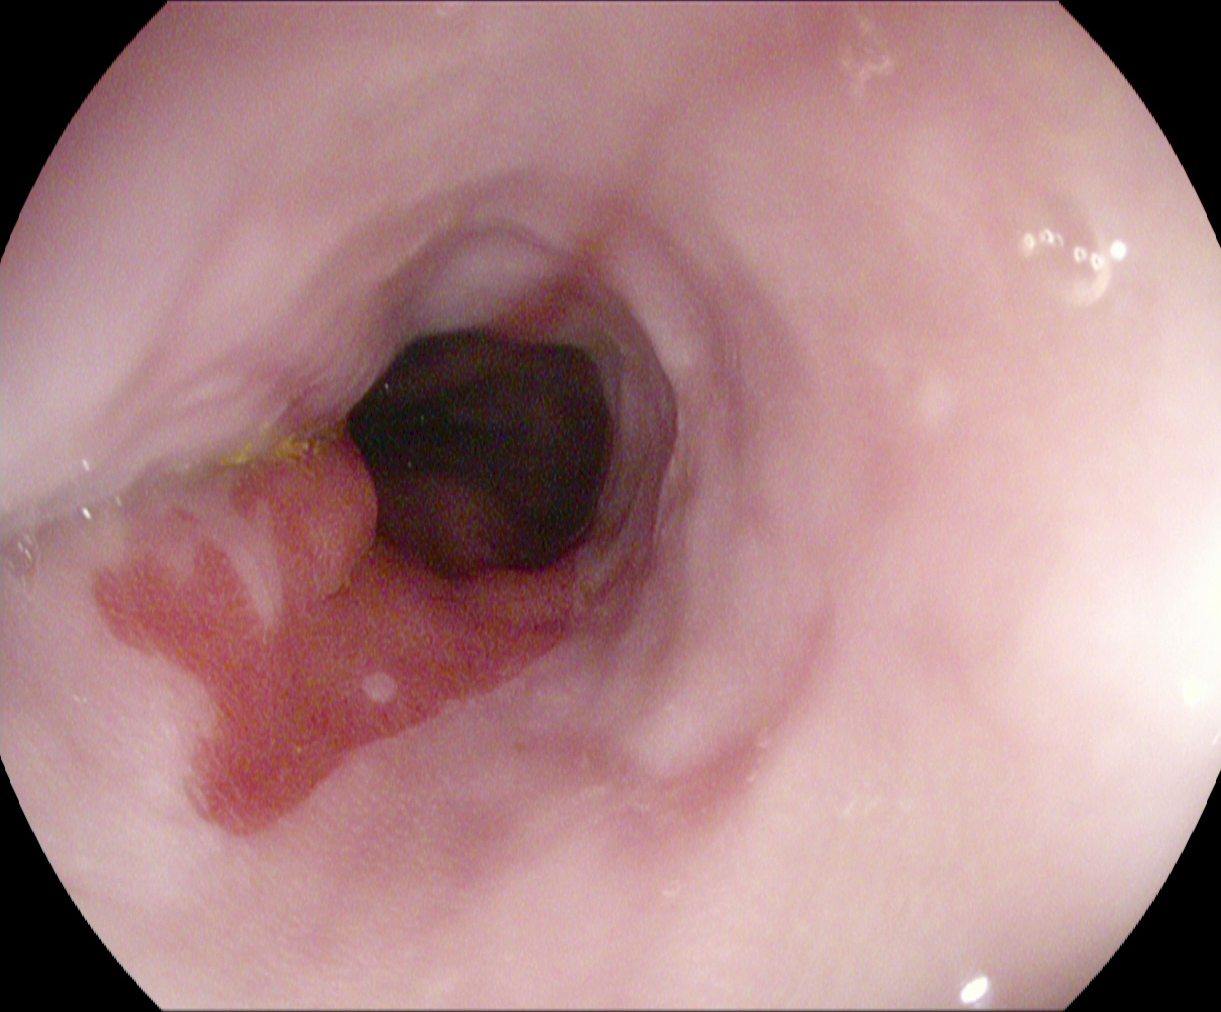PROCEDURE: EGD.
FINDINGS: Barrett's esophagus, short segment.